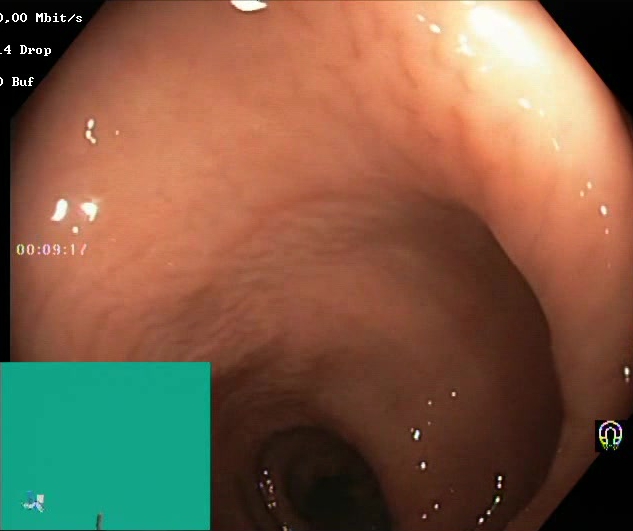Colonoscopy. Tract: lower GI tract. Mucosal-view quality. Finding: Boston Bowel Preparation Scale score 2–3 (adequate preparation).